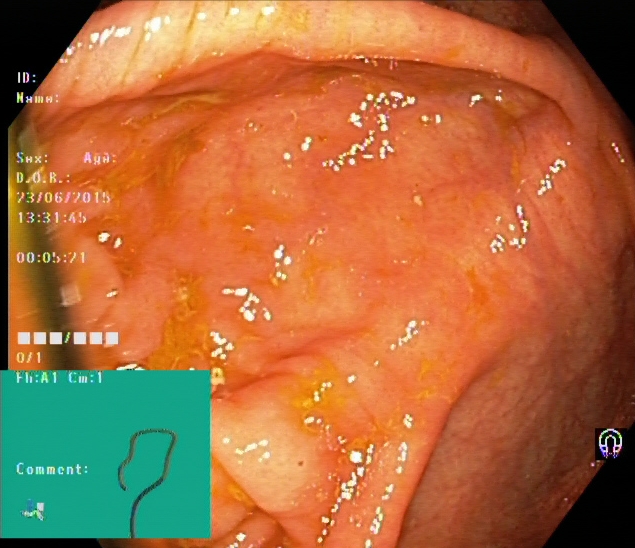{"modality": "lower-GI endoscopy", "tract": "lower GI tract", "finding": "cecum"}